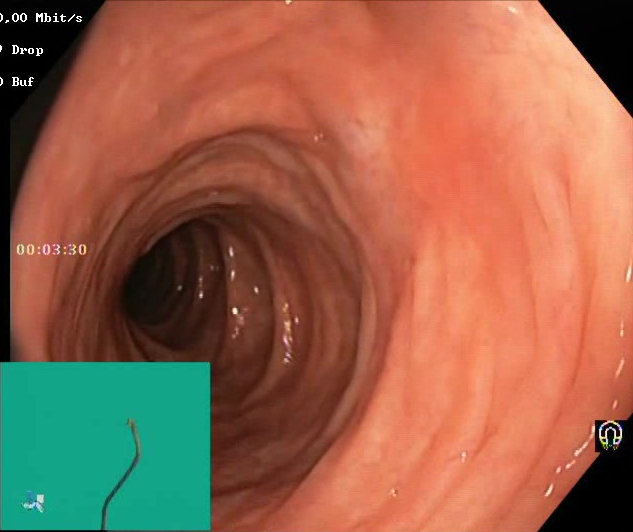Lower gastrointestinal endoscopy — BBPS score 2–3 (adequate preparation).